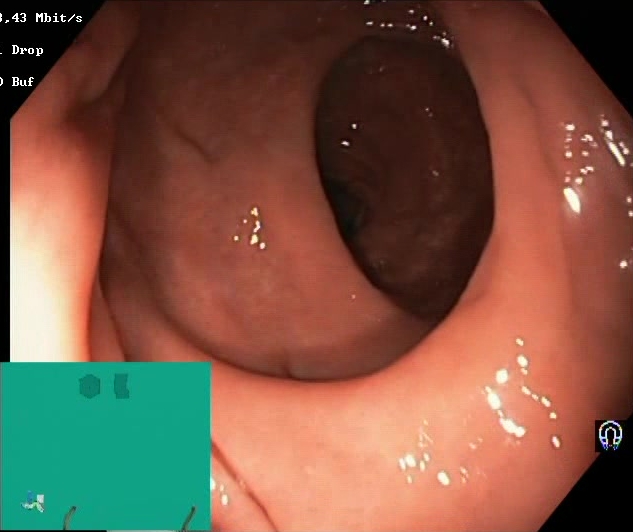PROCEDURE: Lower-GI endoscopy.
FINDINGS: Boston Bowel Preparation Scale score 2–3 (adequate preparation).